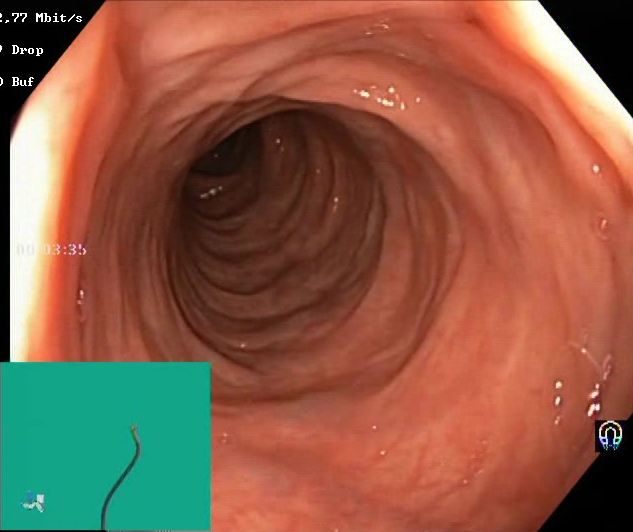Colonoscopy — Boston Bowel Preparation Scale score 2–3 (adequate preparation).